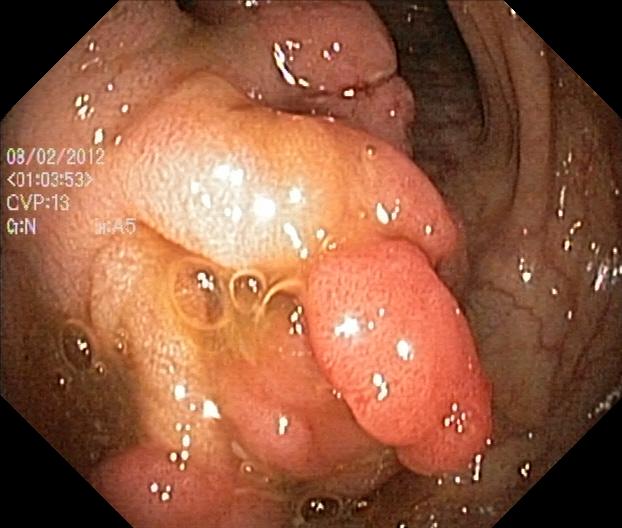PROCEDURE: Lower-GI endoscopy.
FINDINGS: Colorectal polyp(s).